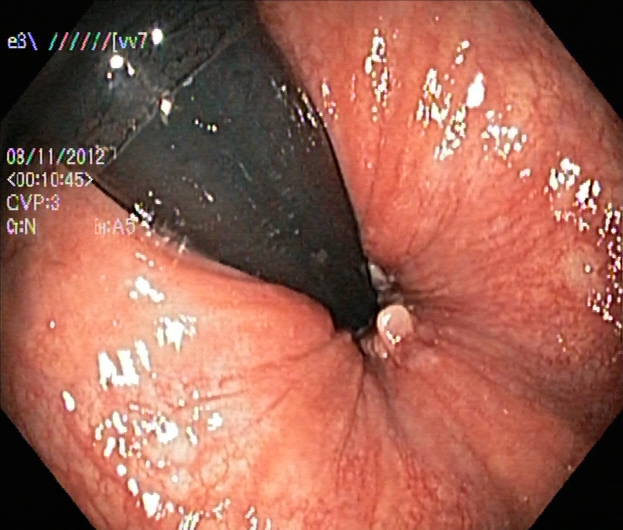modality: lower gastrointestinal endoscopy; category: anatomical landmark; finding: rectum in retroflexion